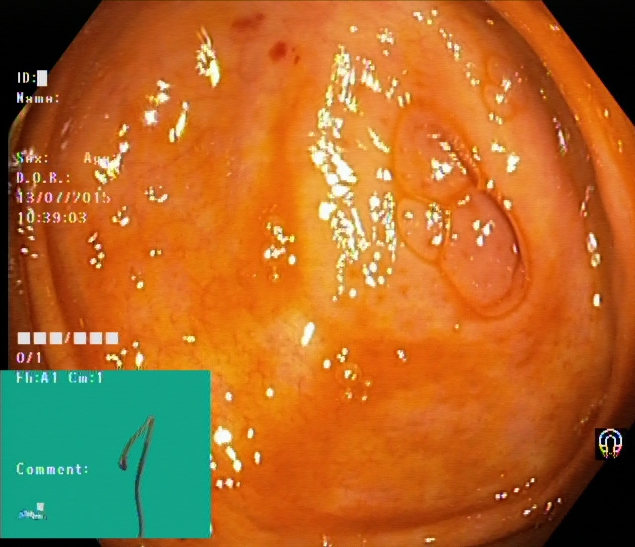This endoscopic image of the lower GI tract shows cecum.